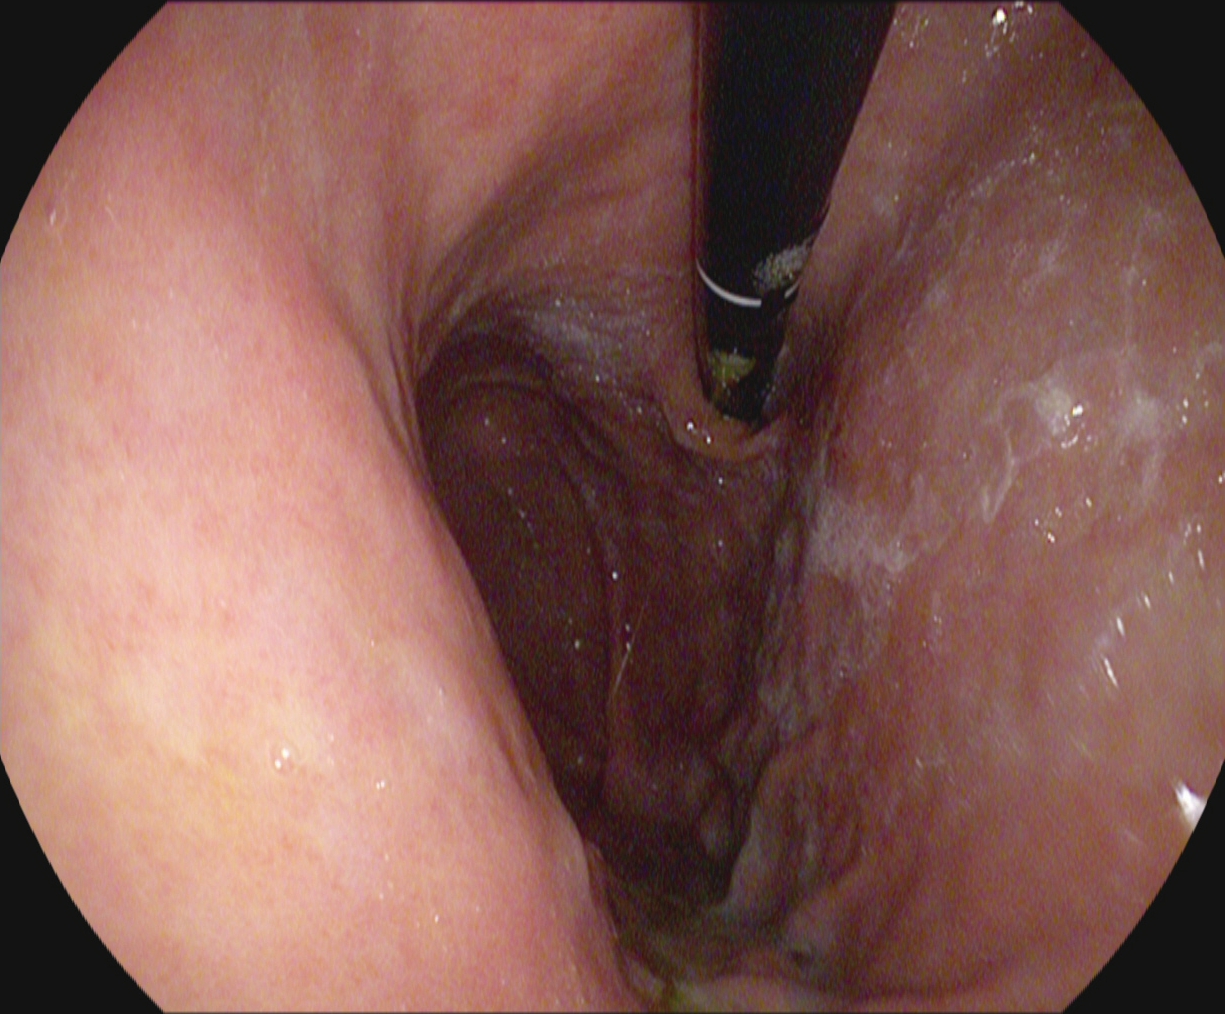stomach in retroflexion.